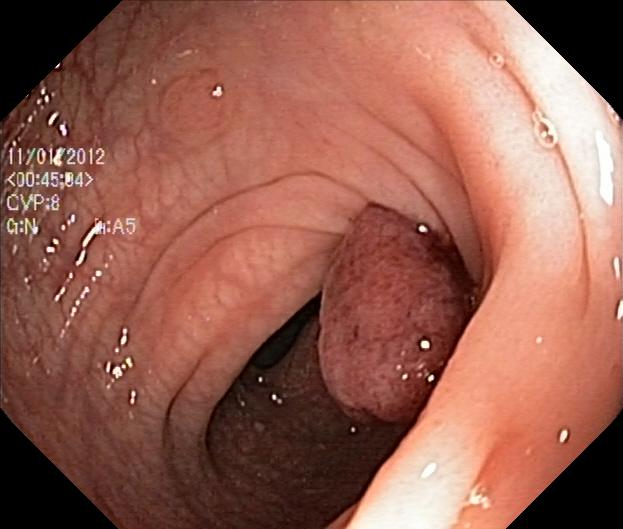Lower-GI endoscopy. Tract: lower GI tract. Pathological finding. Finding: colorectal polyp(s).